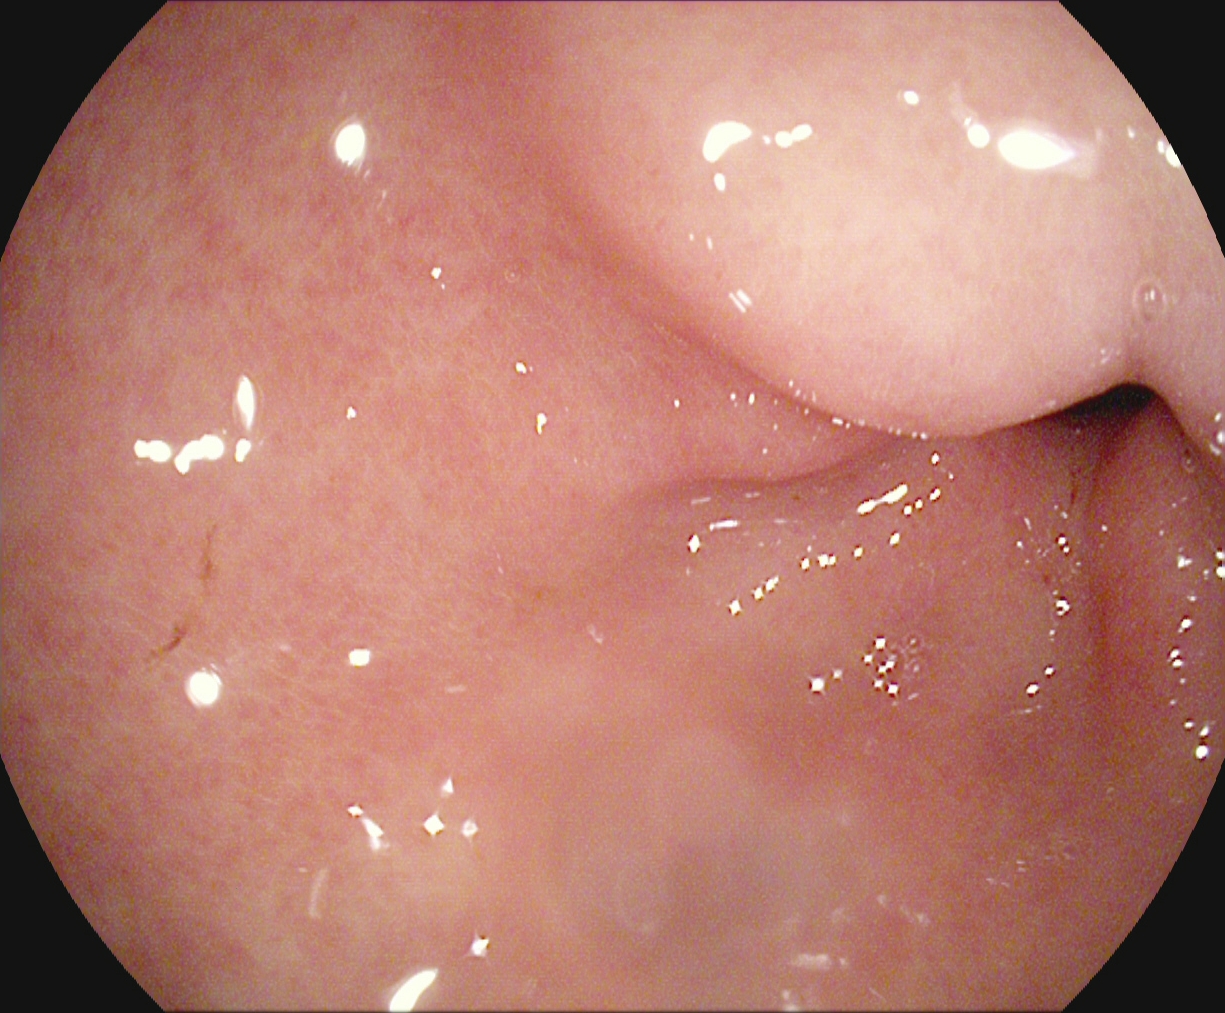PROCEDURE: Upper-GI endoscopy.
FINDINGS: Pylorus.